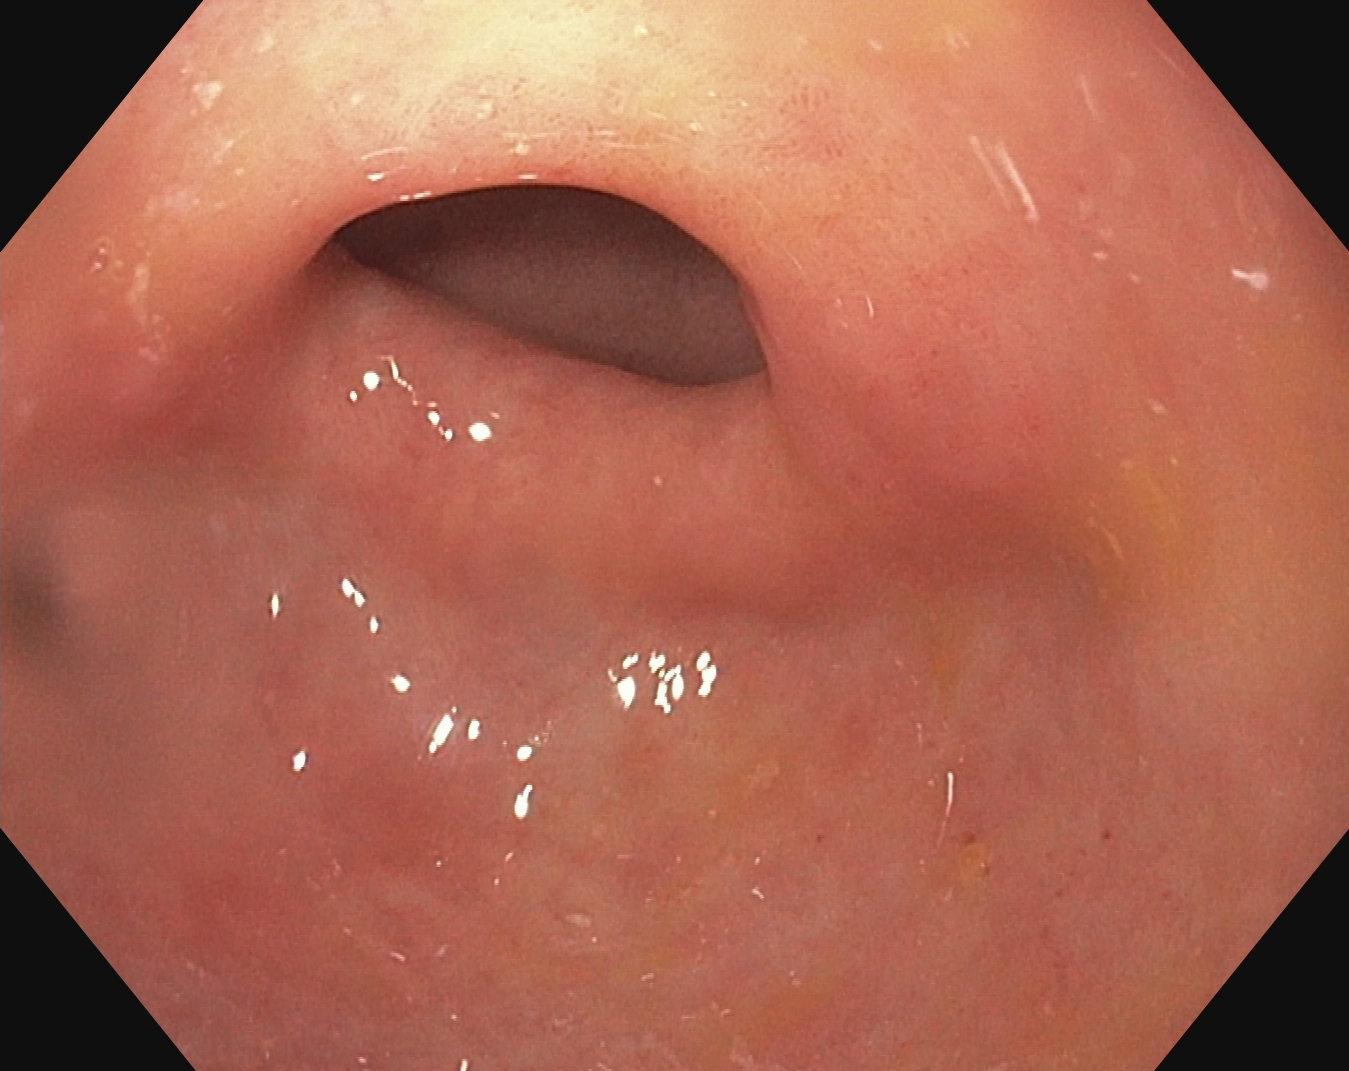Pylorus.